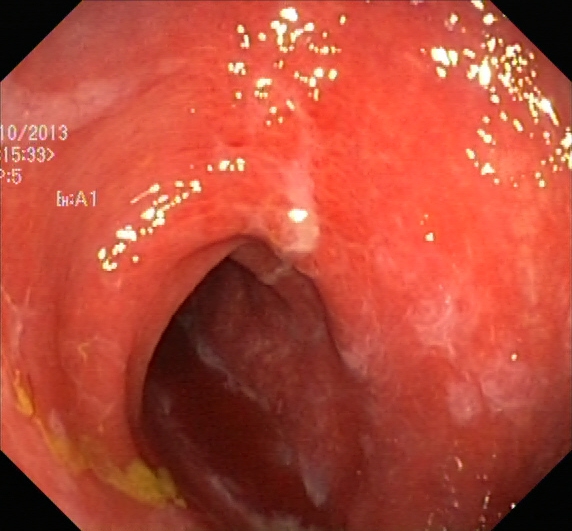Lower gastrointestinal endoscopy. Finding: ulcerative colitis, Mayo endoscopic subscore 2.